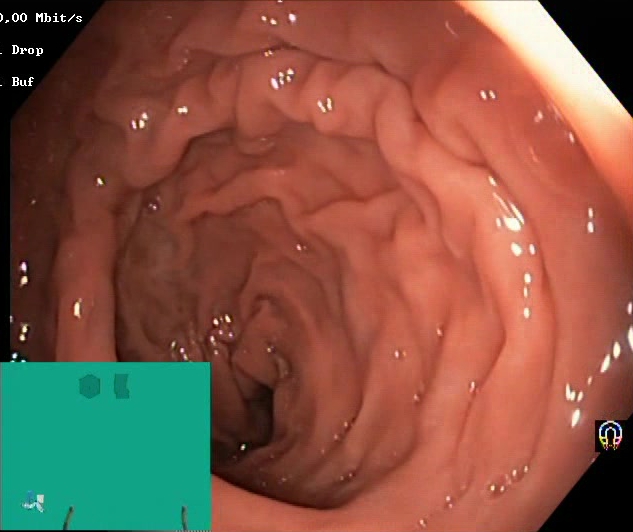Boston Bowel Preparation Scale score 2–3 (adequate preparation).